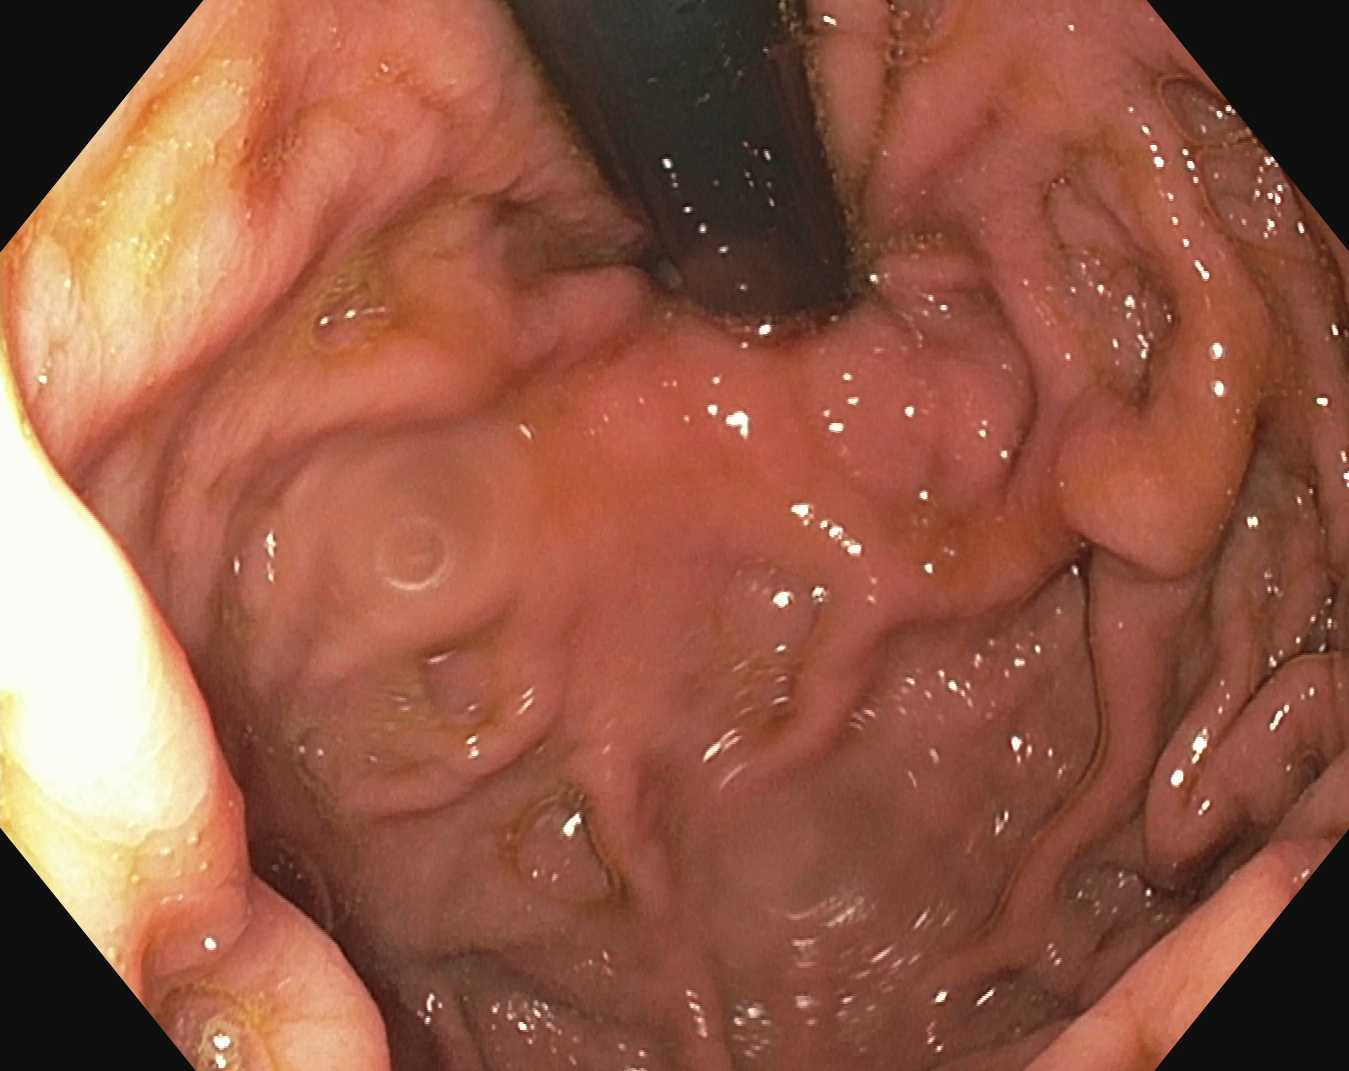Gastrointestinal endoscopy image of the upper GI tract showing stomach in retroflexion.